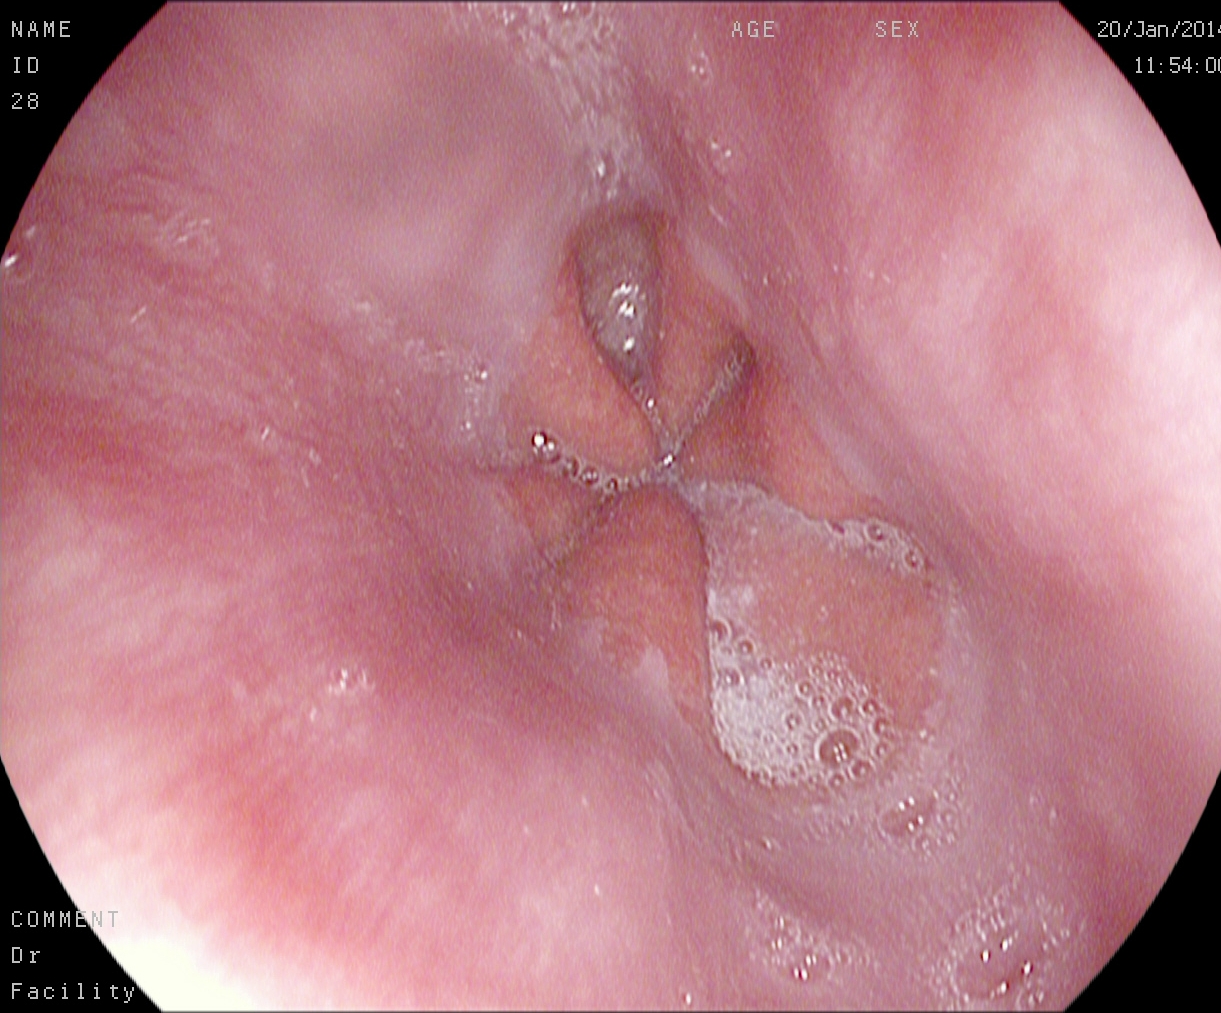PROCEDURE: Gastroscopy.
FINDINGS: Z-line (gastroesophageal junction).